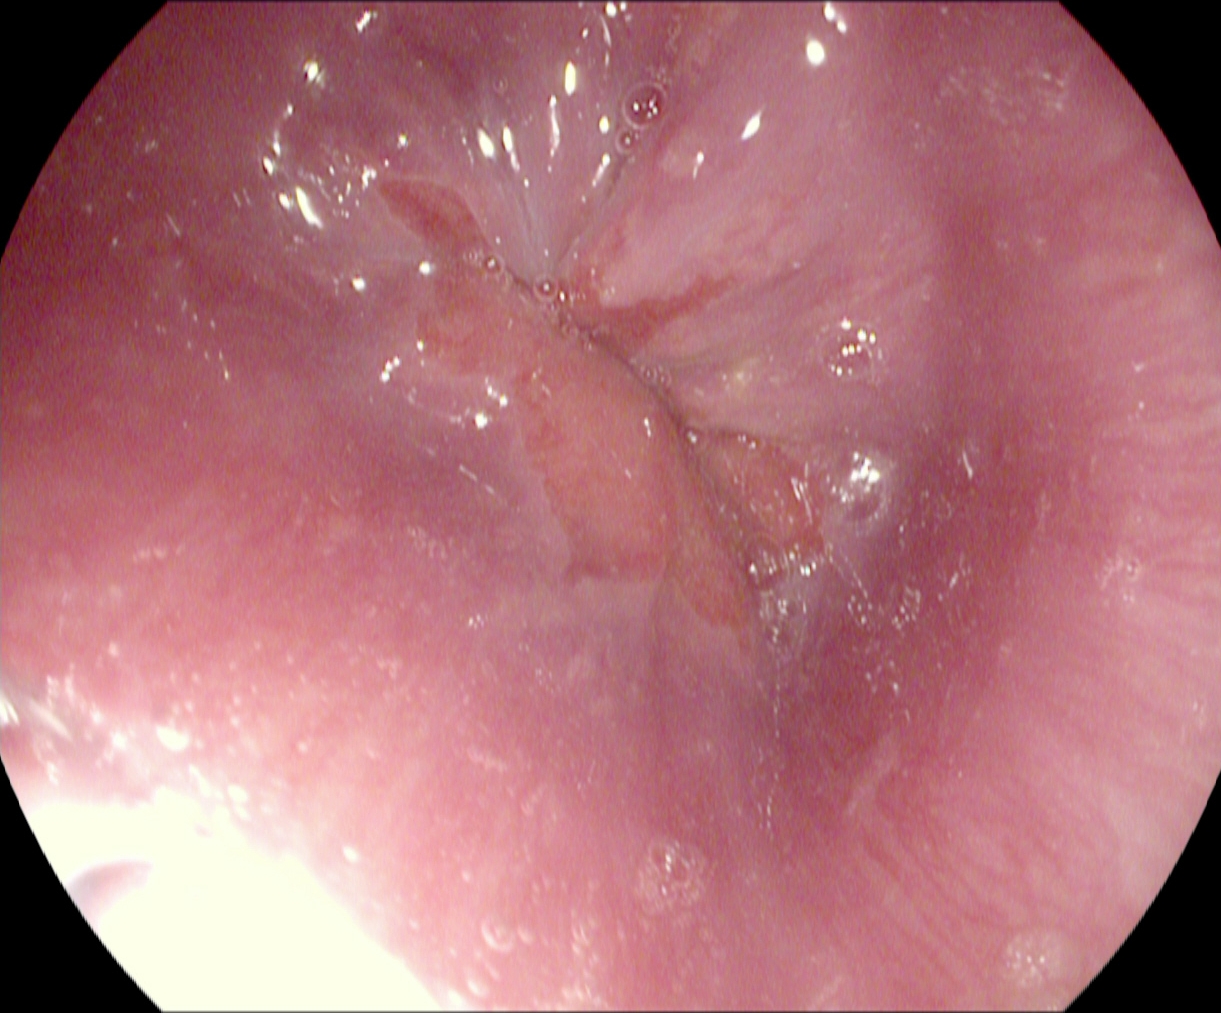Z-line (gastroesophageal junction).